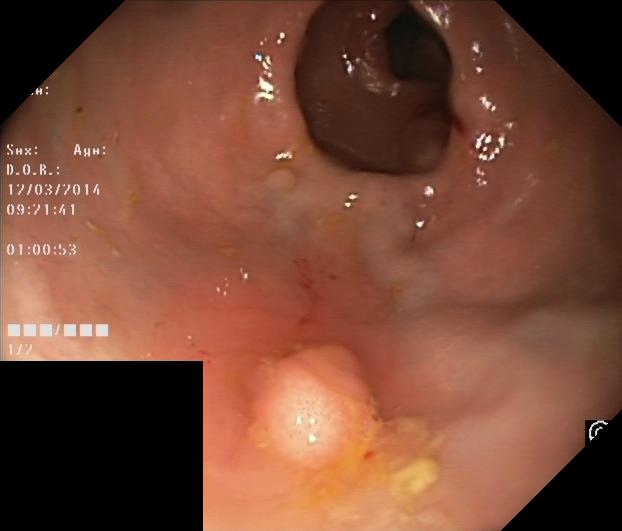This endoscopy frame of the lower GI tract shows colorectal polyp(s).